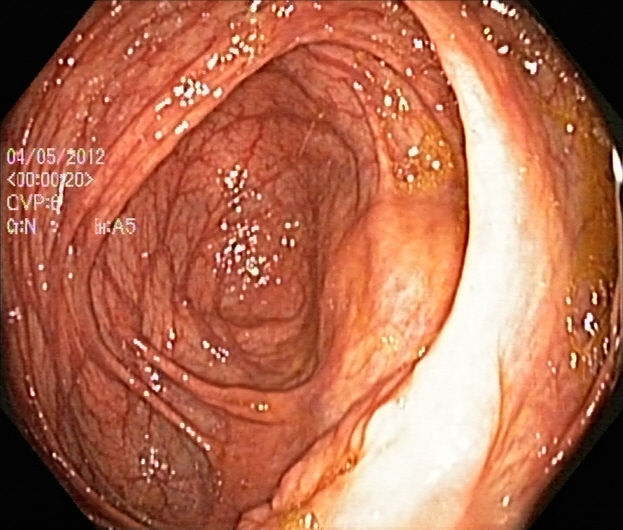Cecum.